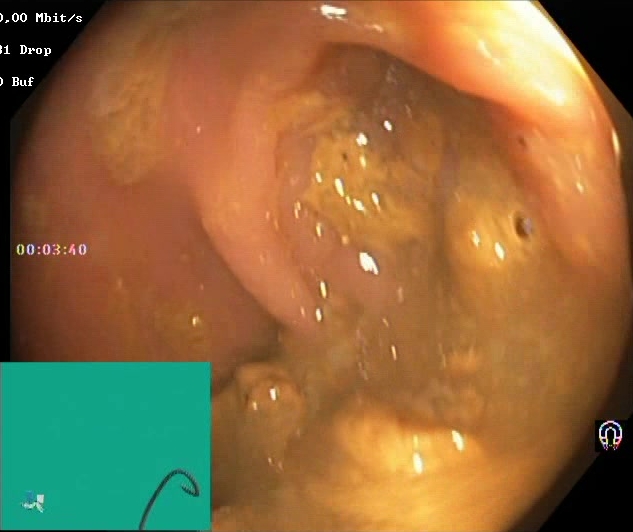modality: lower-GI endoscopy; tract: lower GI tract; category: mucosal-view quality; finding: Boston Bowel Preparation Scale score 0–1 (inadequate preparation)